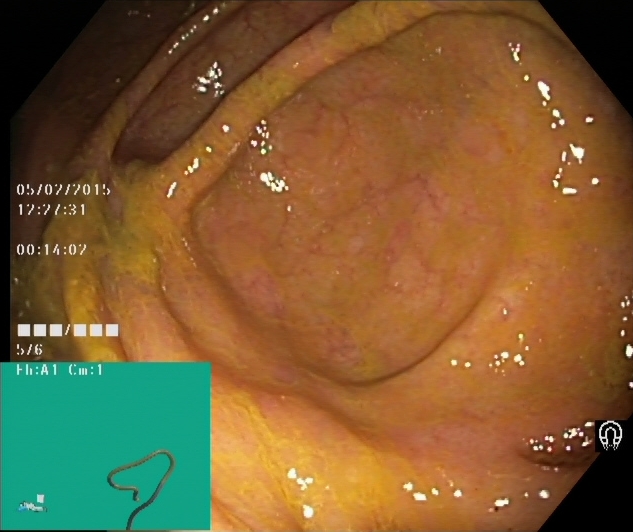Endoscopic frame showing cecum.